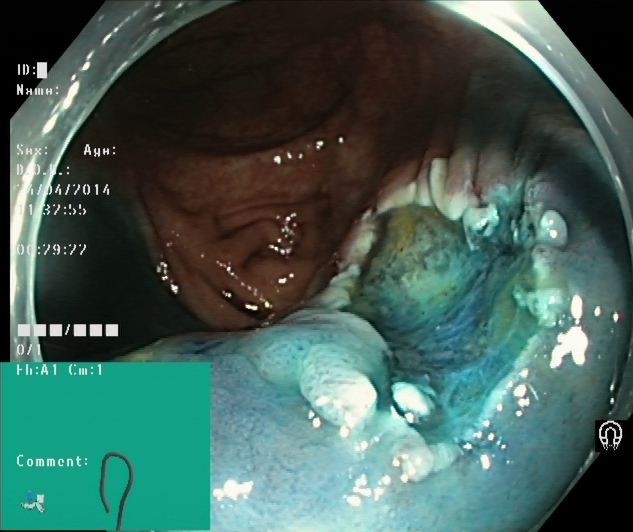Dyed resection margins (post-polypectomy).